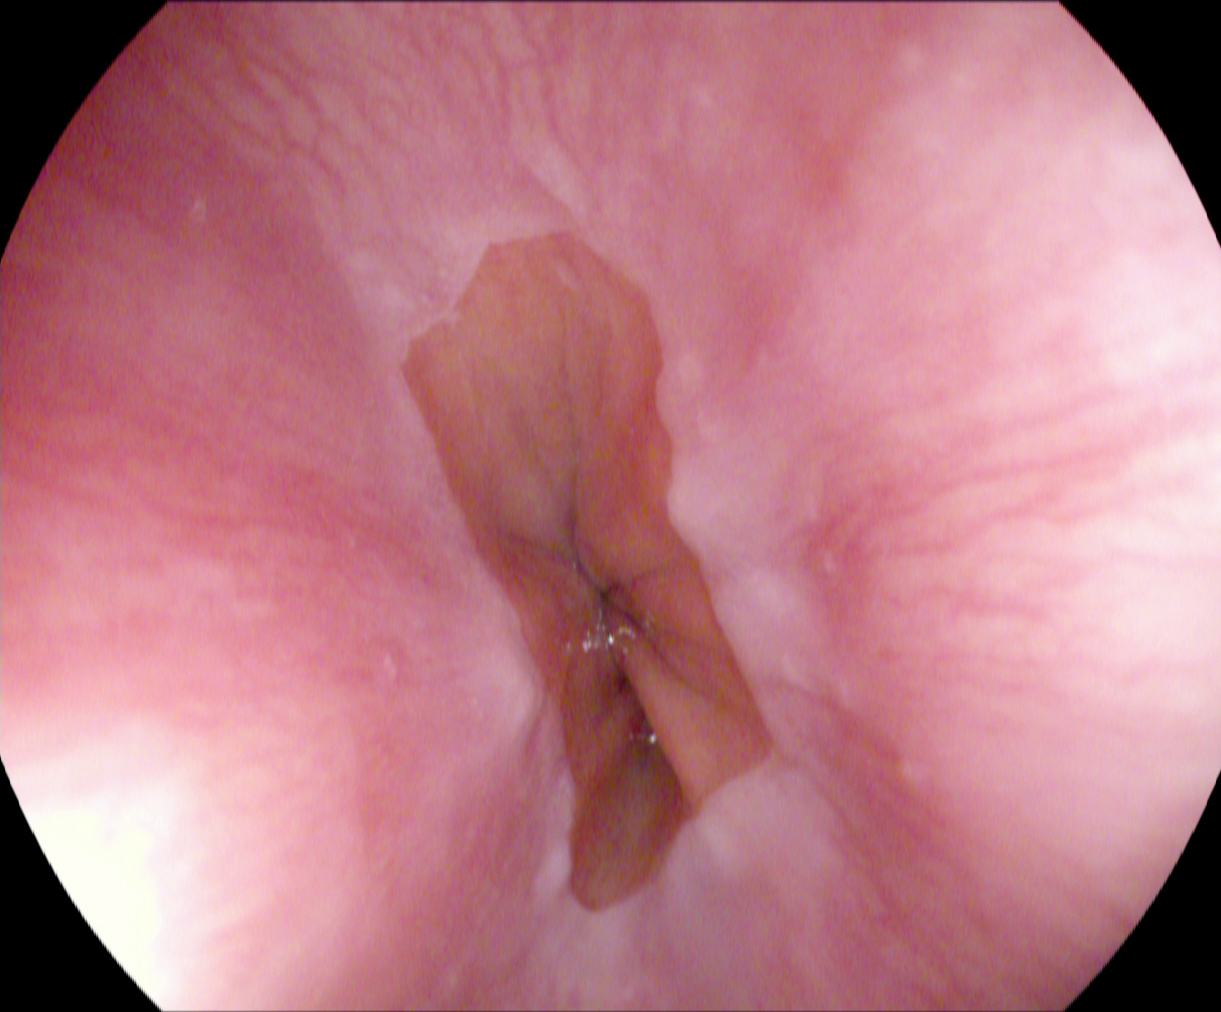Gastrointestinal endoscopy image of the upper GI tract showing Z-line (gastroesophageal junction).